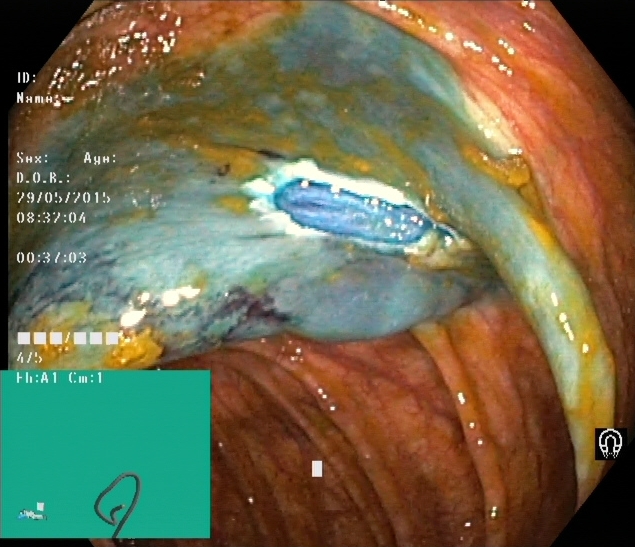dyed resection margins (post-polypectomy).